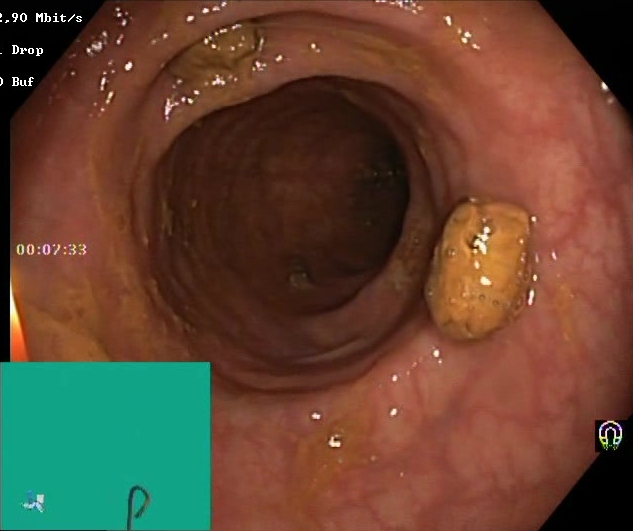Lower-GI endoscopy image showing impacted stool.